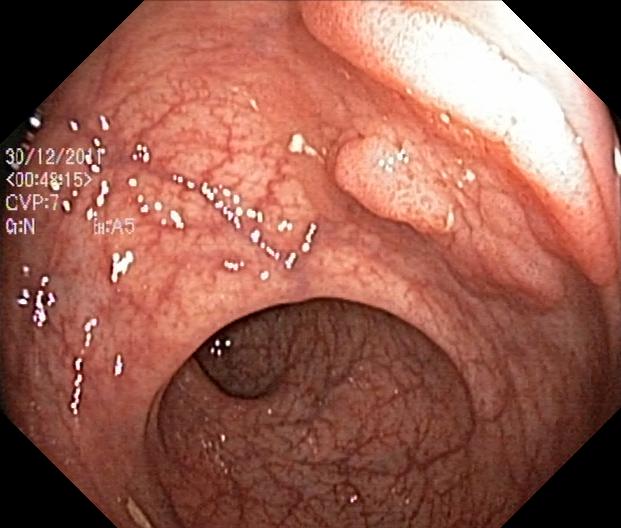GI endoscopy image of the lower GI tract showing colorectal polyp(s).